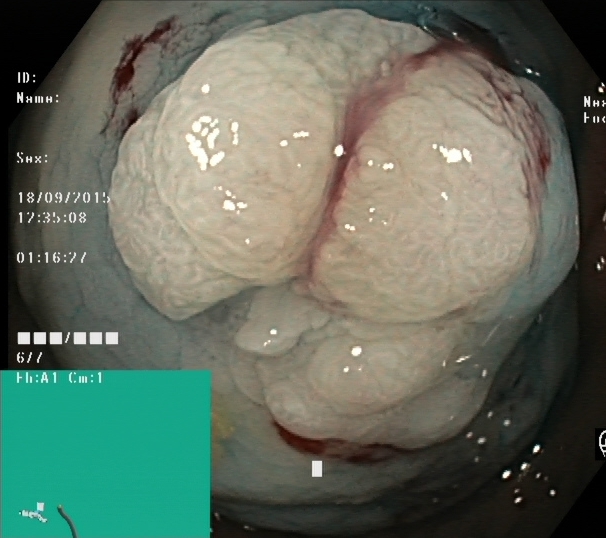PROCEDURE: Colonoscopy.
FINDINGS: Dyed and lifted polyp (pre-resection).